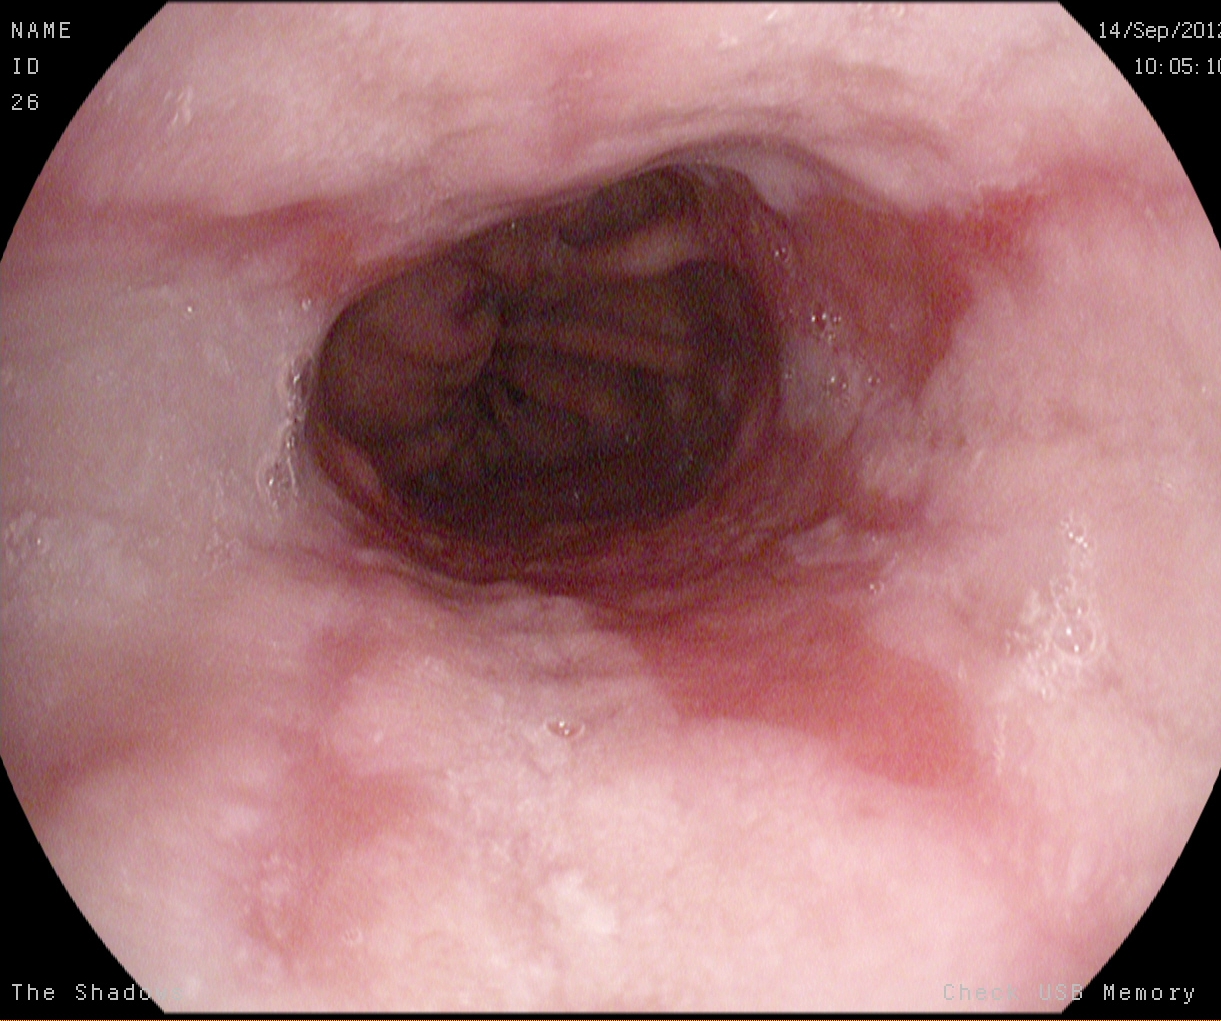PROCEDURE: EGD.
FINDINGS: Reflux esophagitis, Los Angeles grade B–D.